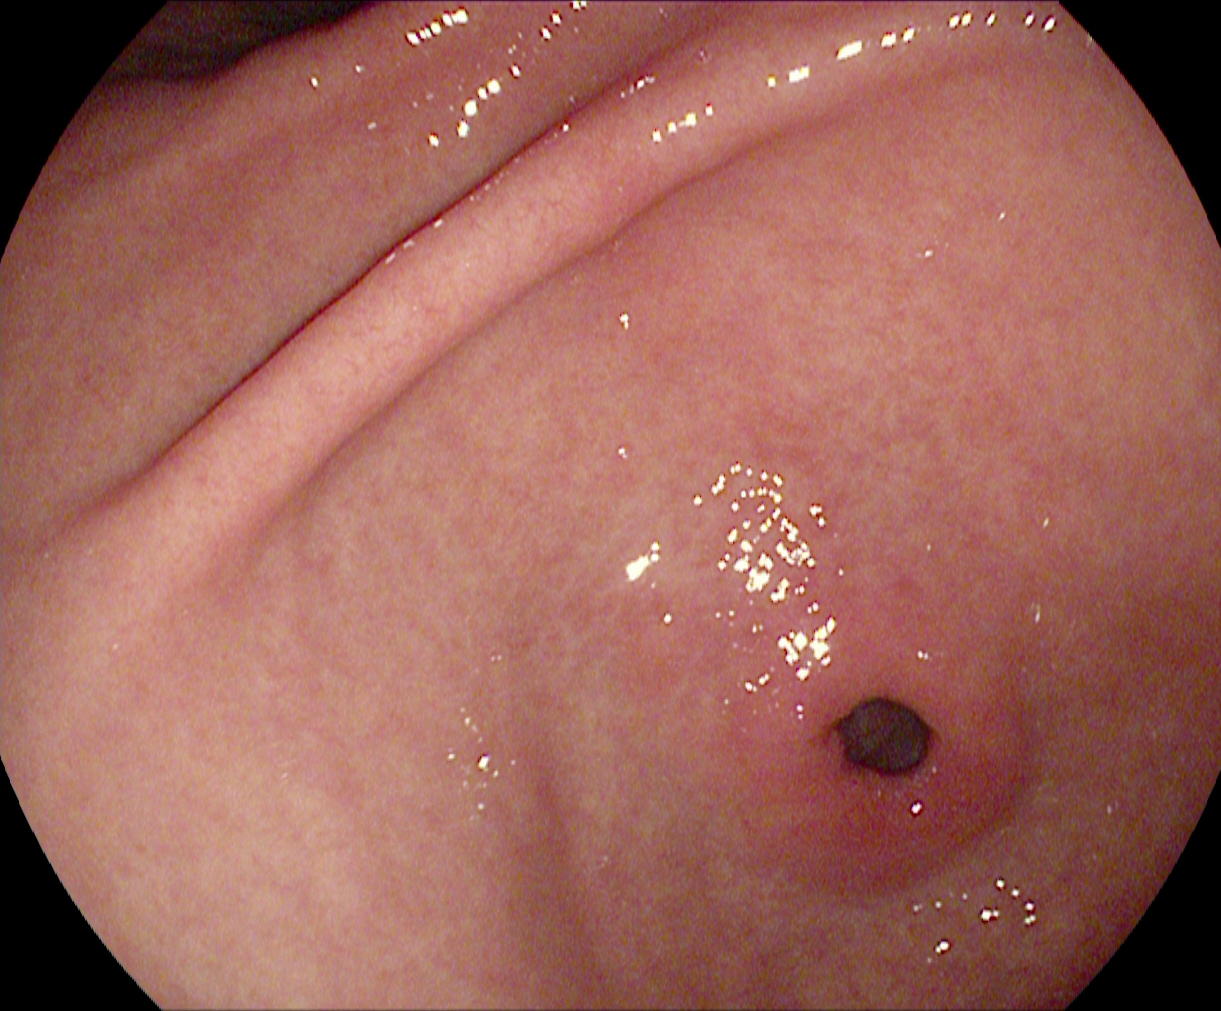PROCEDURE: Esophagogastroduodenoscopy.
CATEGORY: Anatomical landmark.
FINDINGS: Pylorus.